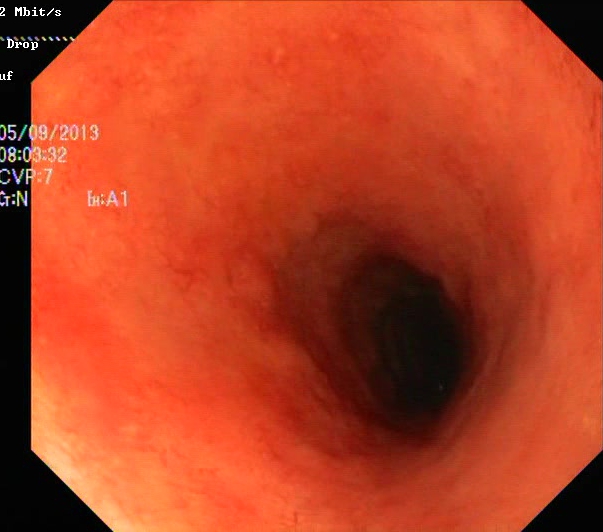Lower gastrointestinal endoscopy. Tract: lower GI tract. Finding: ulcerative colitis, Mayo endoscopic subscore 2.